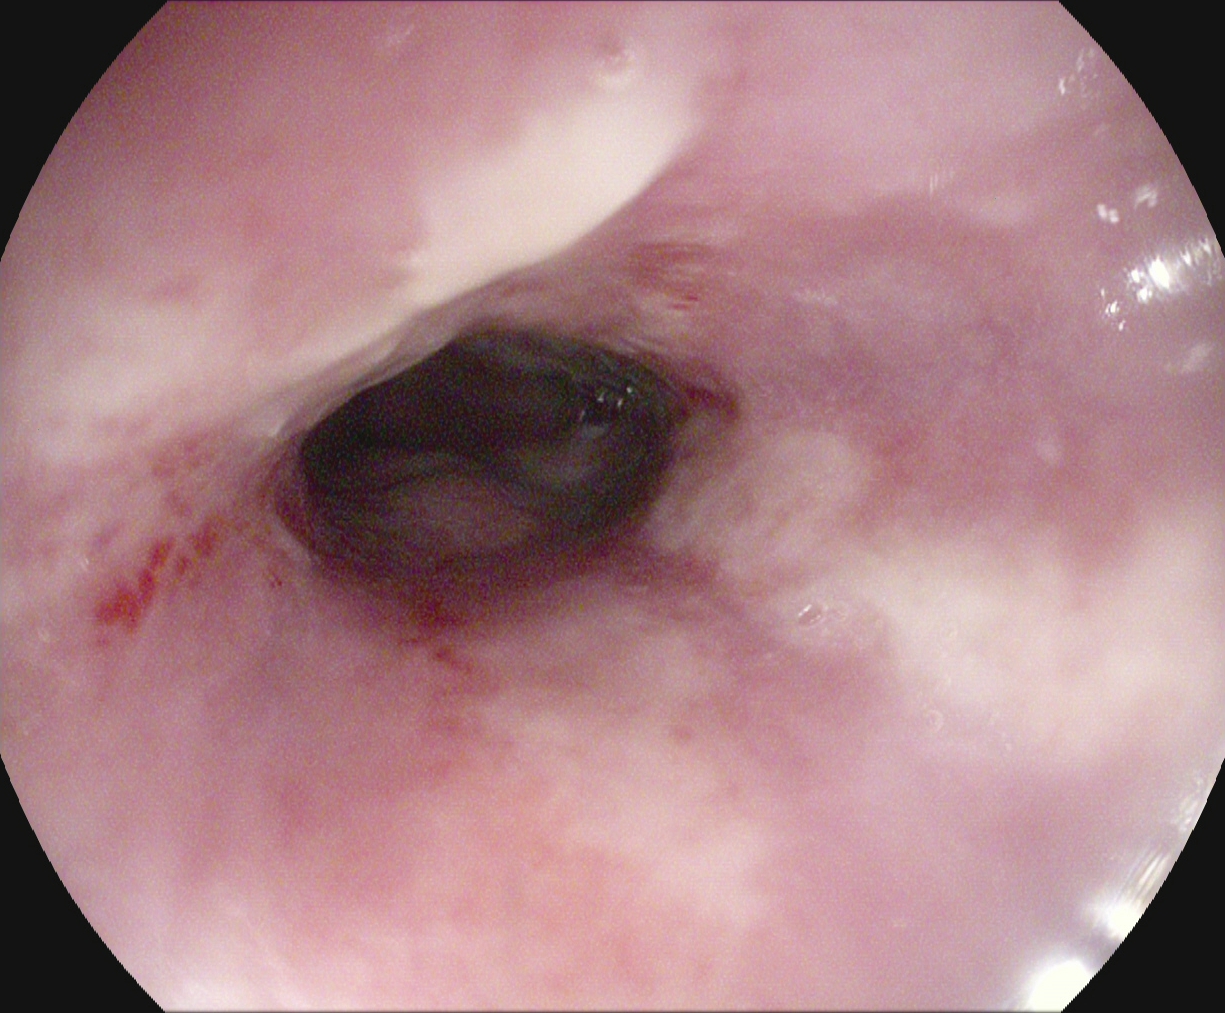Gastrointestinal endoscopy image showing reflux esophagitis, Los Angeles grade B–D.